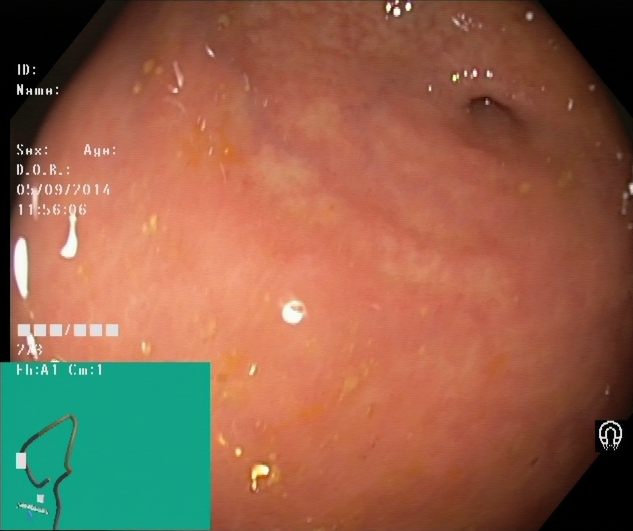Endoscopy image showing cecum.